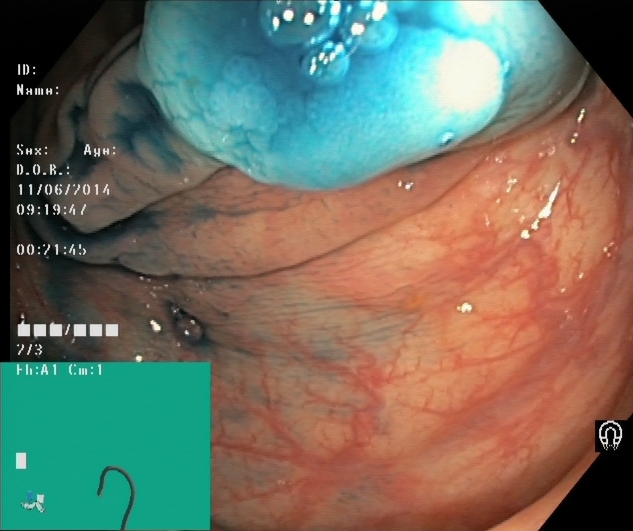{"modality": "lower-GI endoscopy", "tract": "lower GI tract", "finding": "dyed and lifted polyp (pre-resection)"}